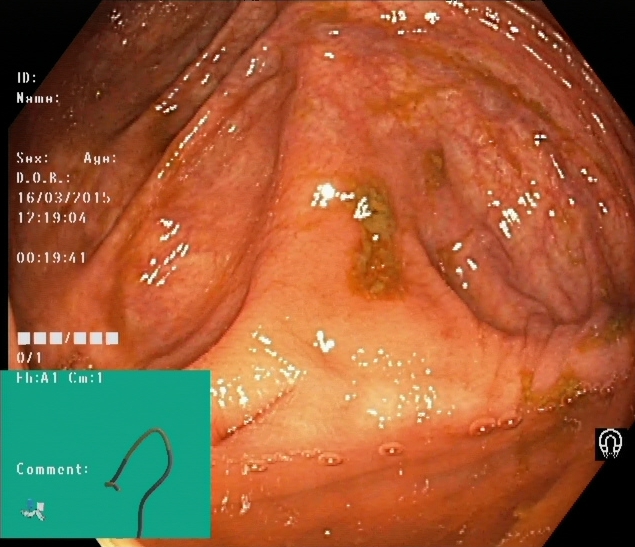Endoscopy image of the lower GI tract showing cecum.